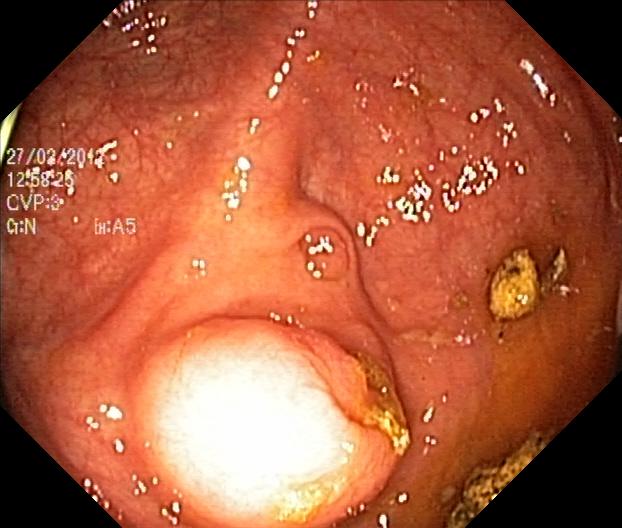Endoscopic frame of the lower GI tract showing colorectal polyp(s).